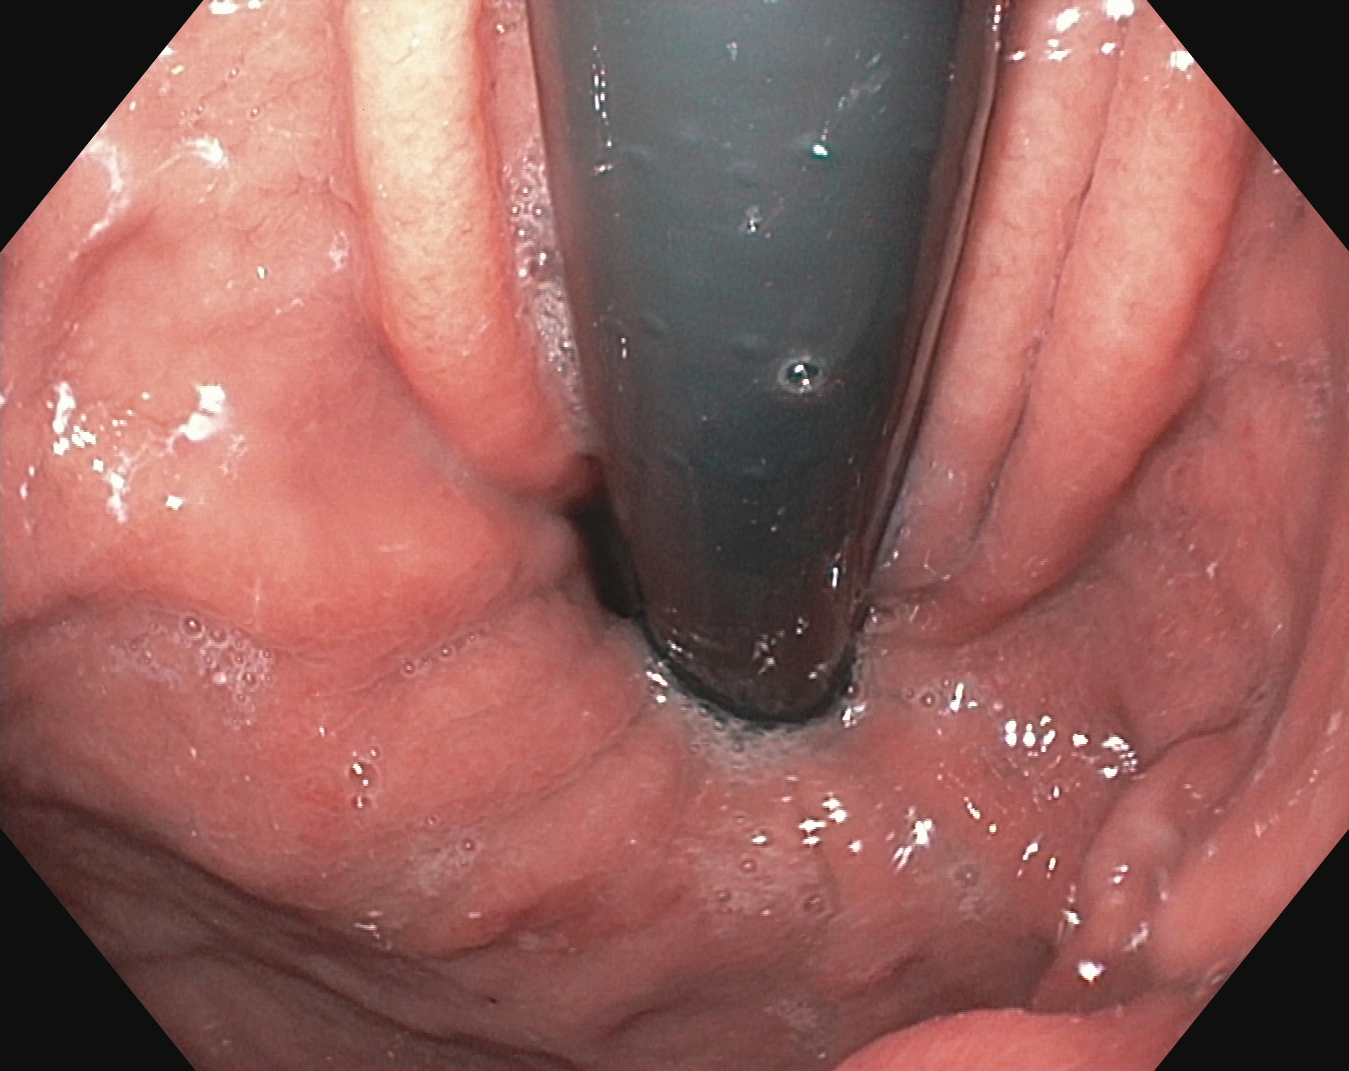This endoscopic image of the upper GI tract shows stomach in retroflexion.